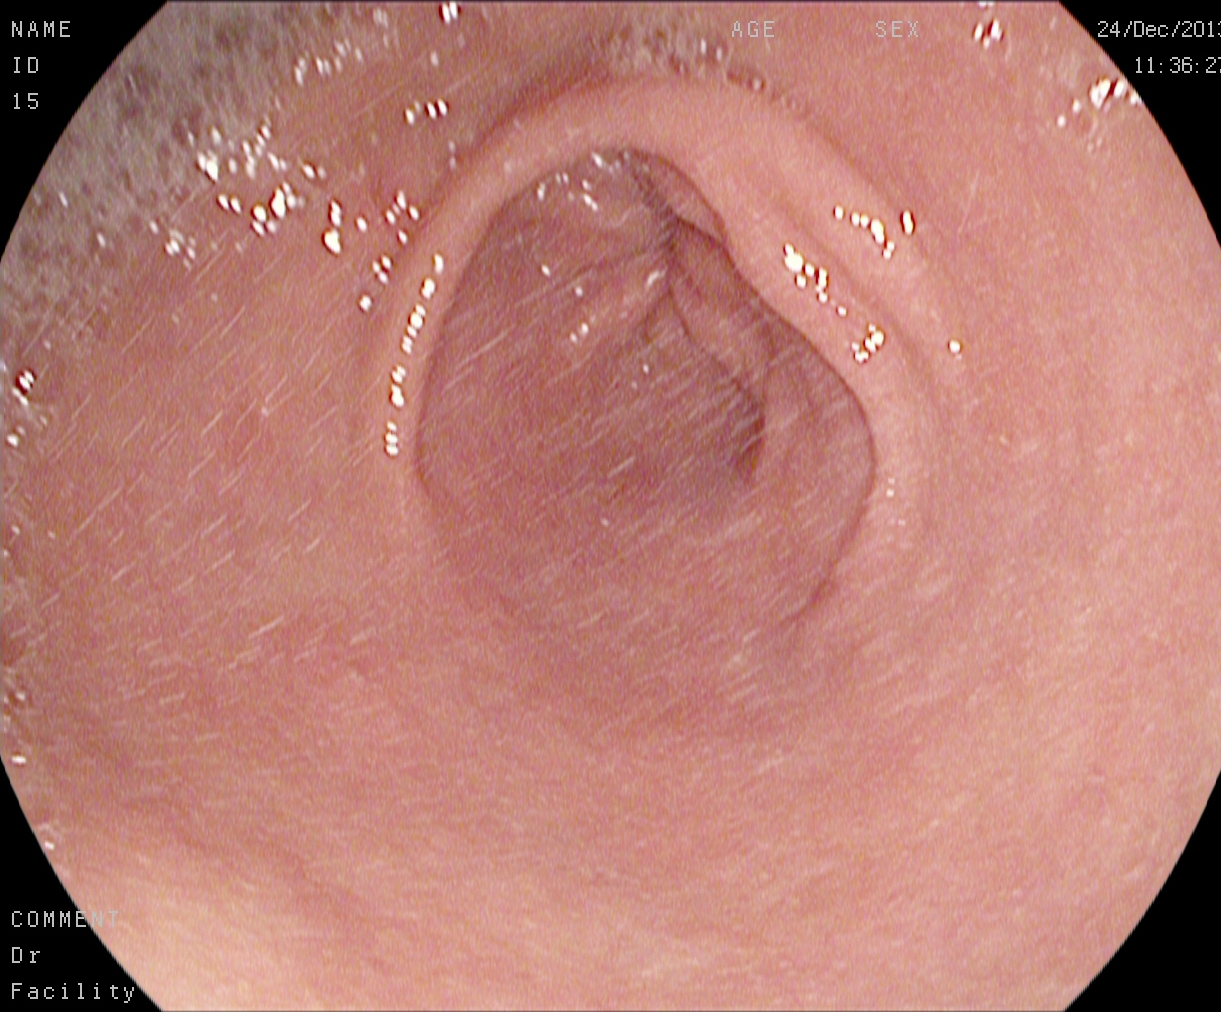{"modality": "upper-GI endoscopy", "tract": "upper GI tract", "finding": "pylorus"}